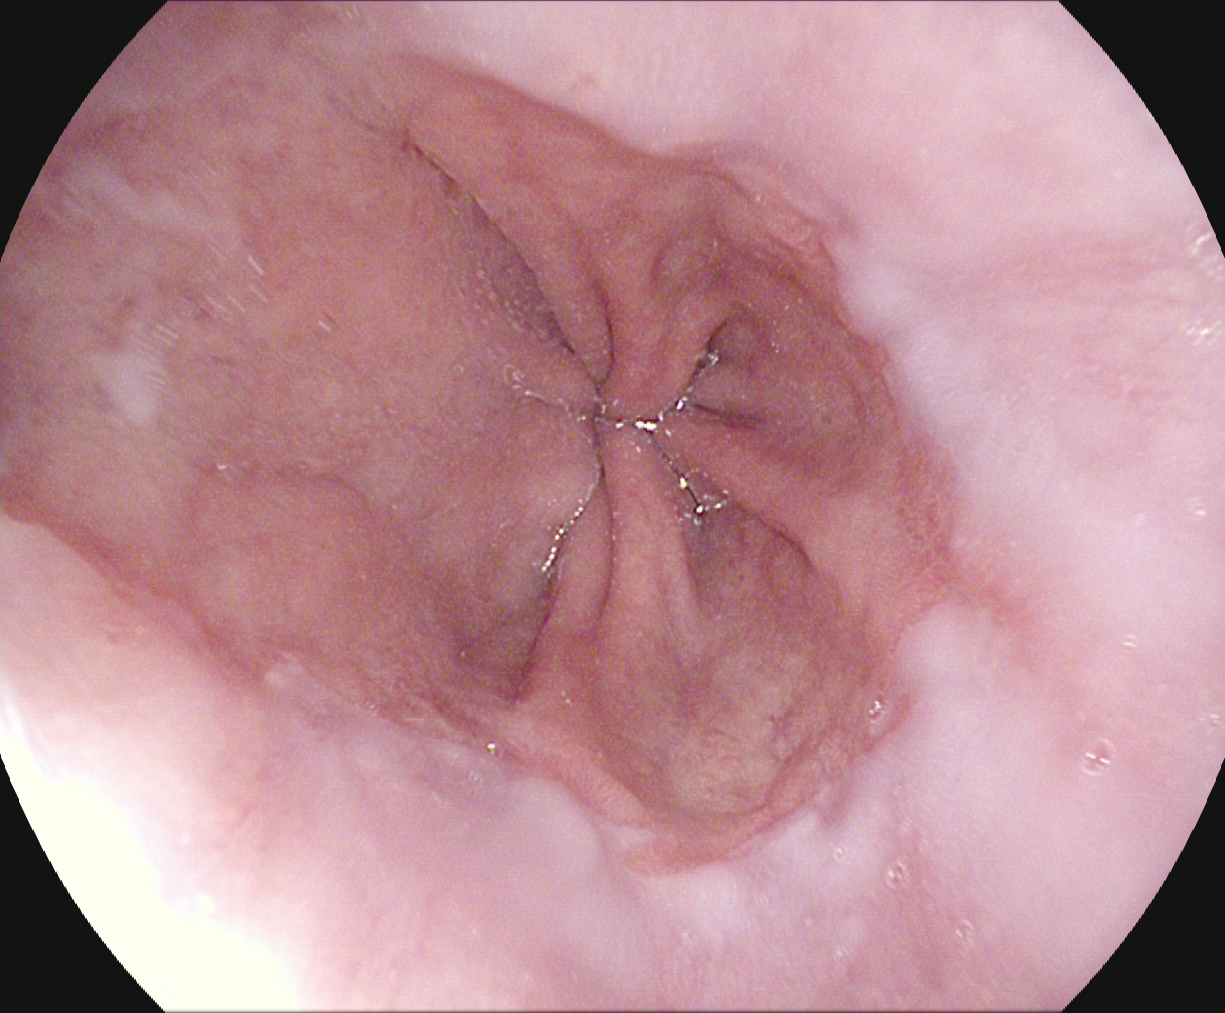Upper-GI endoscopy image of the upper GI tract showing reflux esophagitis, Los Angeles grade A.